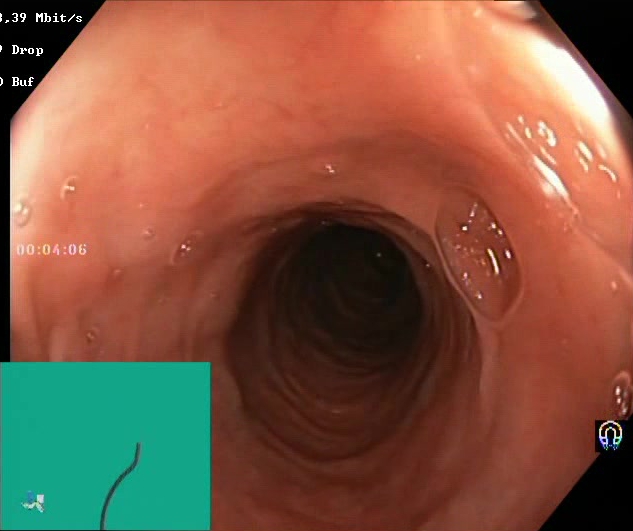{"modality": "colonoscopy", "tract": "lower GI tract", "finding": "BBPS score 2\u20133 (adequate preparation)"}